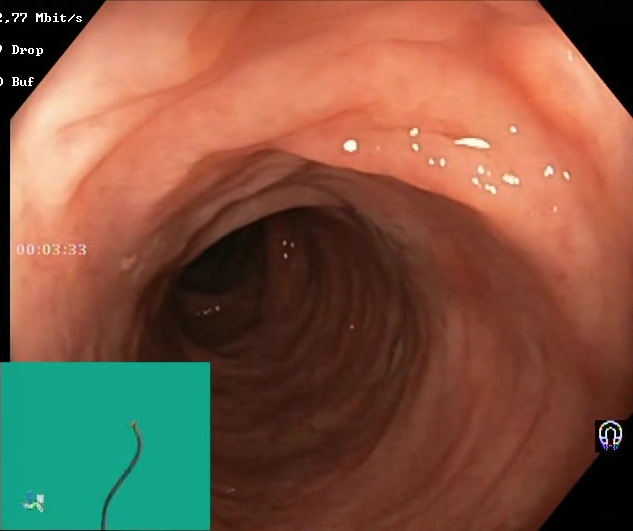modality: lower gastrointestinal endoscopy | category: mucosal-view quality | finding: Boston Bowel Preparation Scale score 2–3 (adequate preparation)